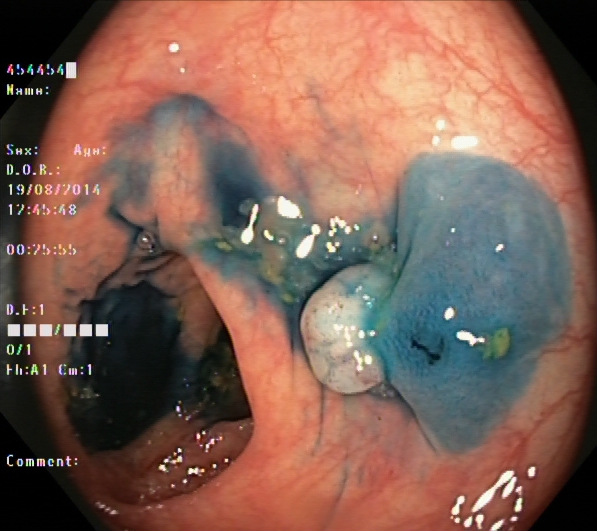This endoscopic image shows dyed and lifted polyp (pre-resection).